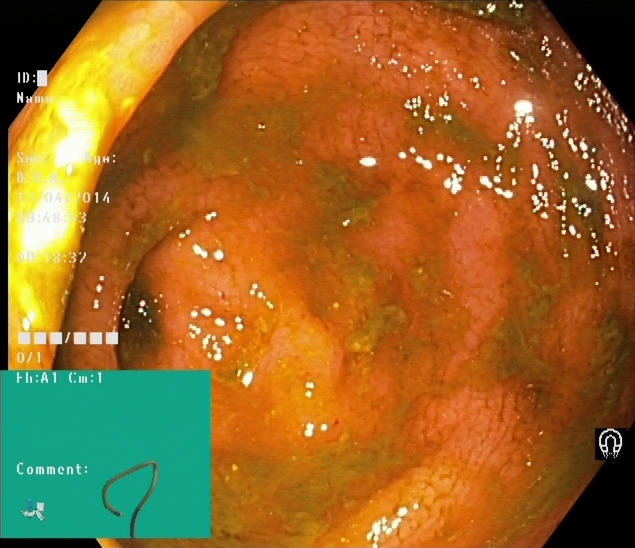Cecum.